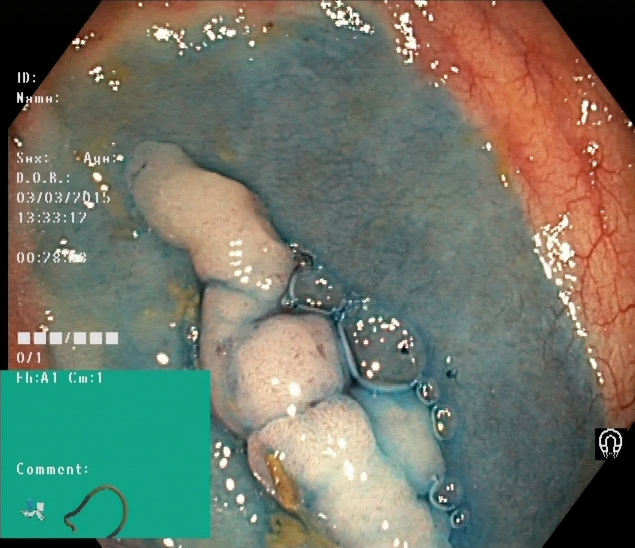This endoscopic image shows dyed and lifted polyp (pre-resection).